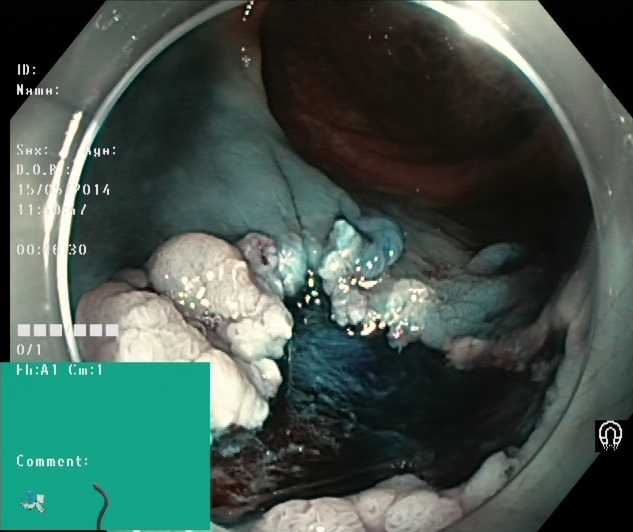Lower-GI endoscopy. Tract: lower GI tract. Finding: dyed and lifted polyp (pre-resection).